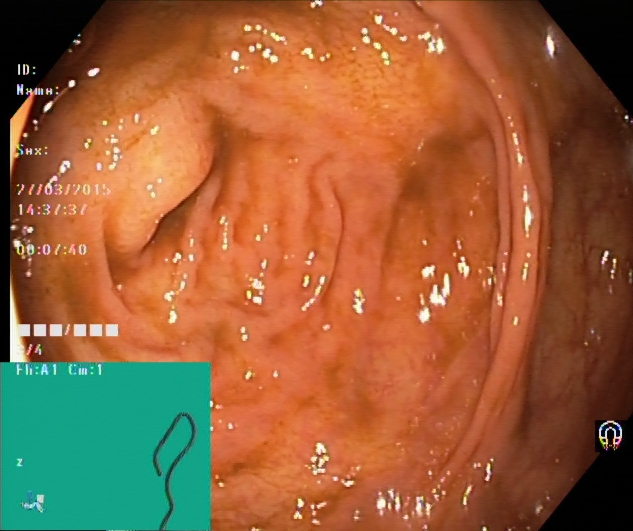This endoscopic image of the lower GI tract shows cecum.